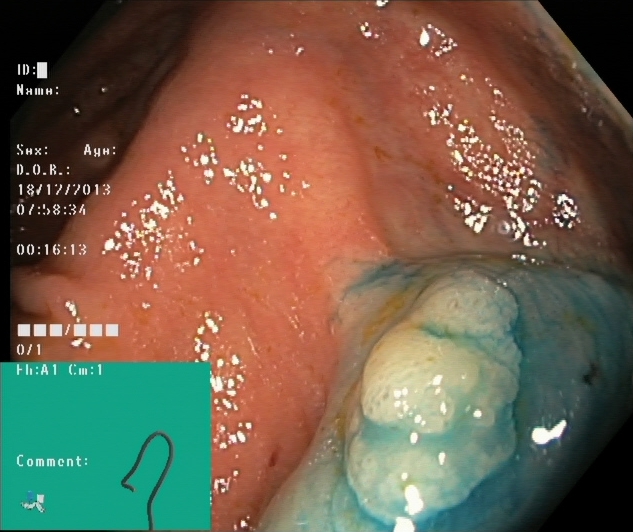PROCEDURE: Lower-GI endoscopy.
FINDINGS: Dyed and lifted polyp (pre-resection).